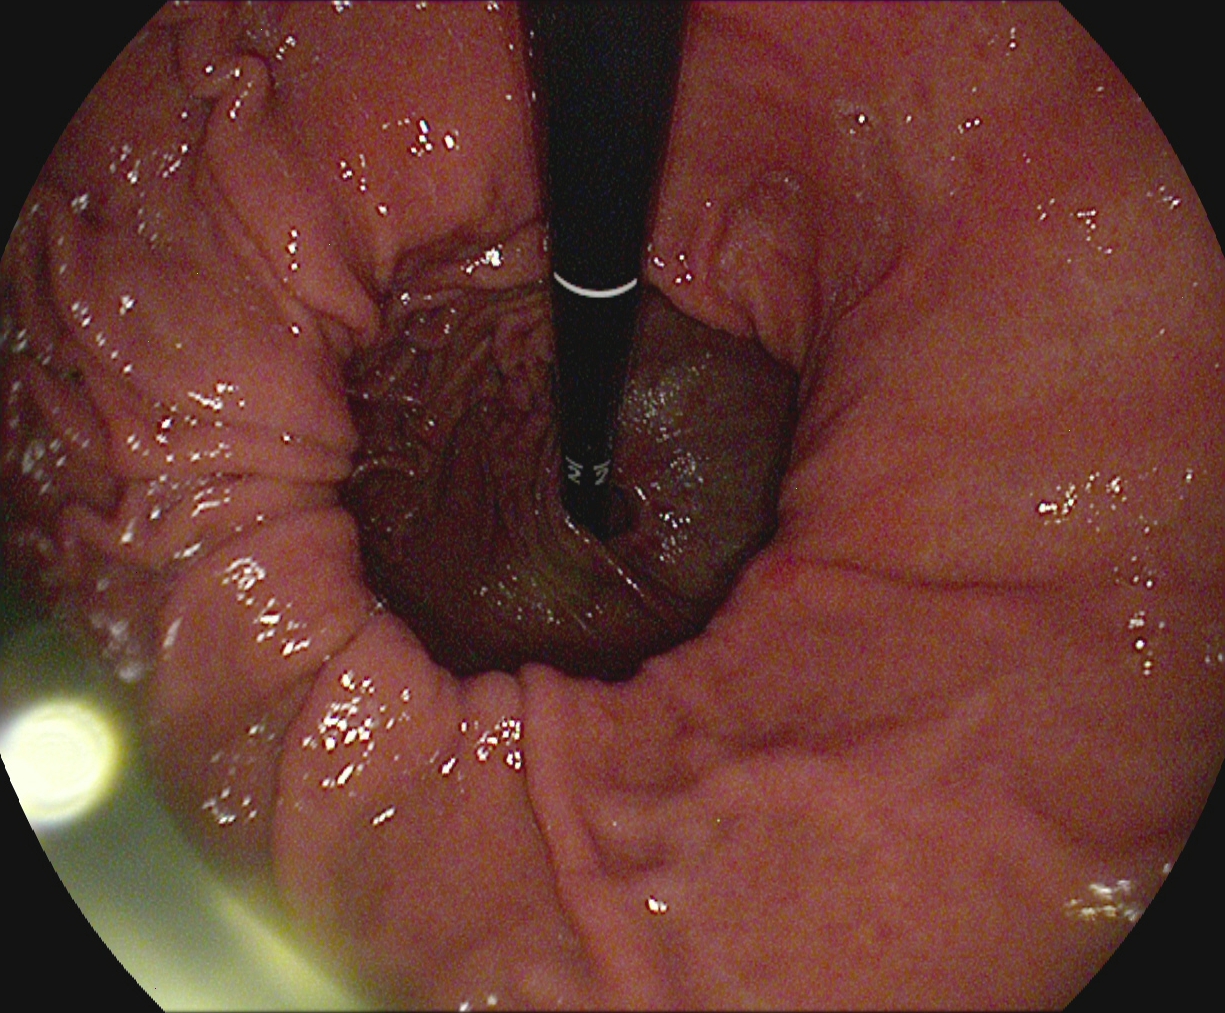This endoscopy frame shows stomach in retroflexion.